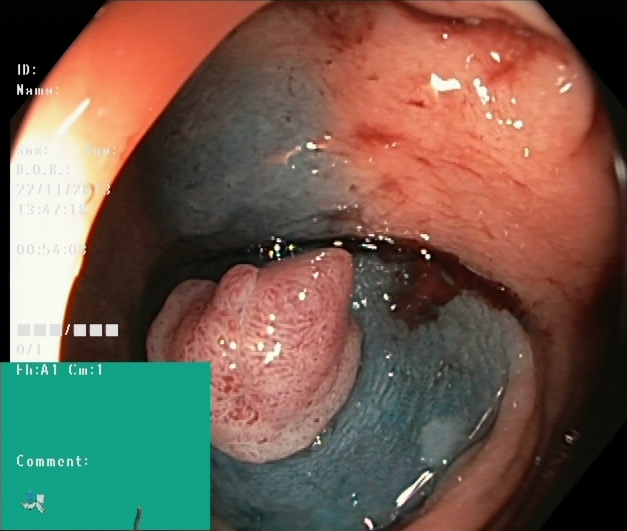PROCEDURE: Lower-GI endoscopy.
FINDINGS: Dyed and lifted polyp (pre-resection).